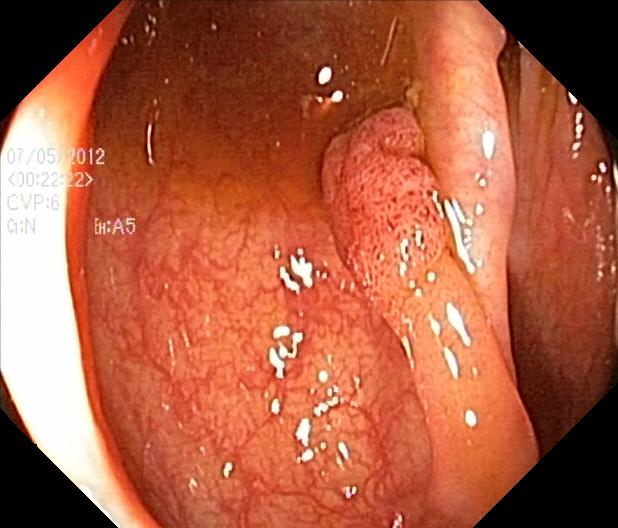Endoscopic image of the lower GI tract showing colorectal polyp(s).